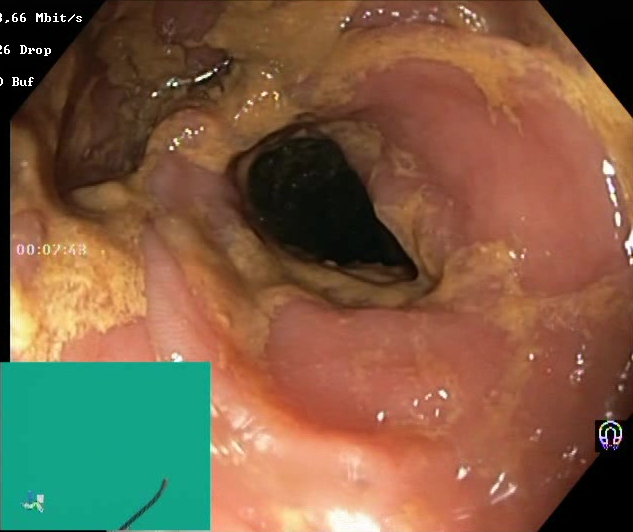Lower gastrointestinal endoscopy — Boston Bowel Preparation Scale score 0–1 (inadequate preparation).